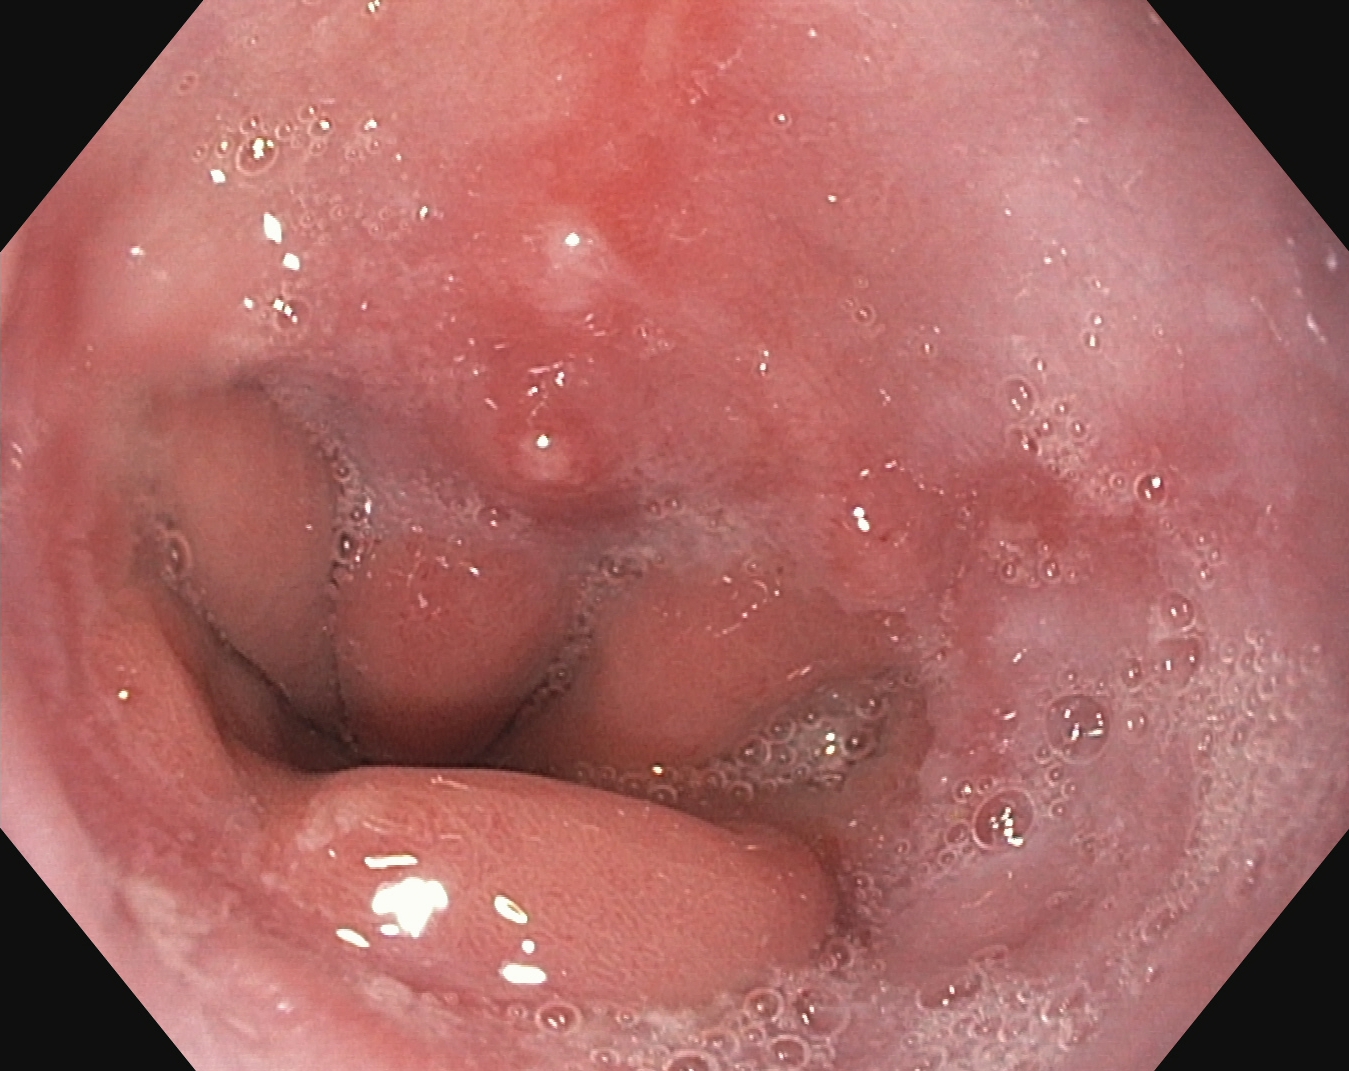Reflux esophagitis, Los Angeles grade A.